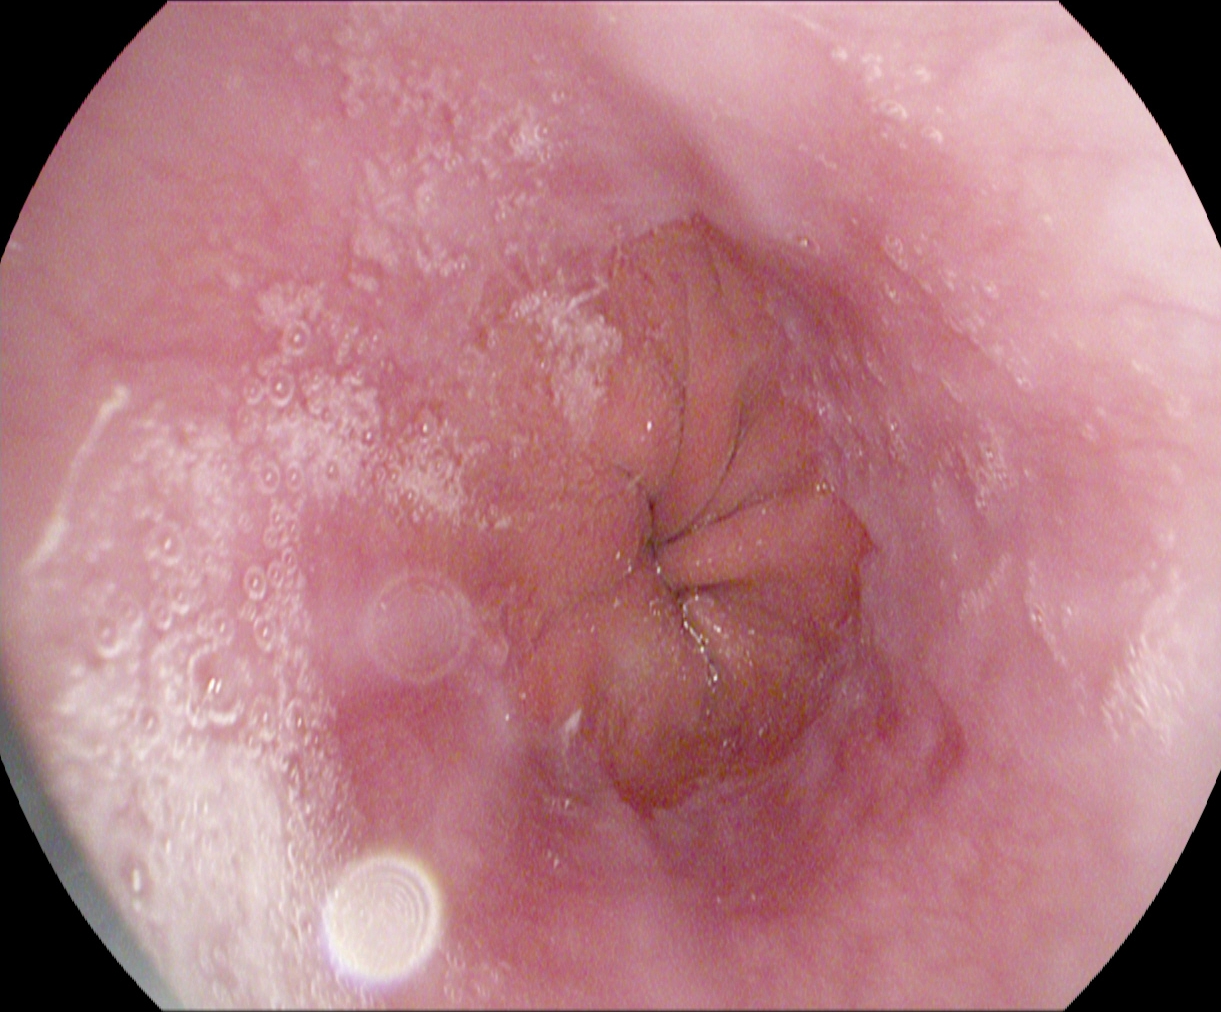{"modality": "gastroscopy", "tract": "upper GI tract", "finding": "Z-line (gastroesophageal junction)"}